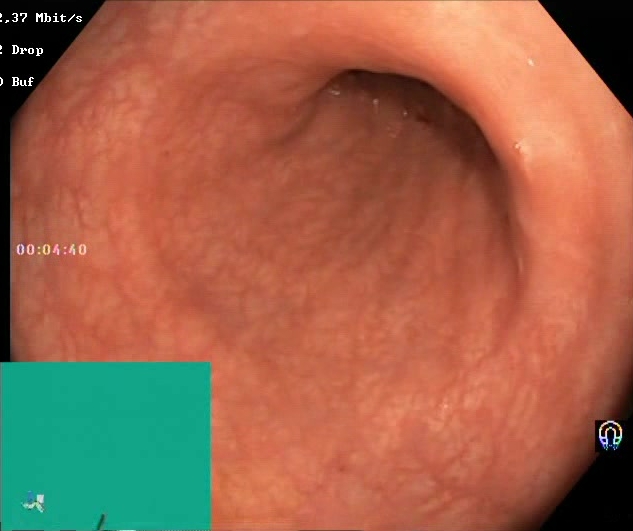Gastrointestinal endoscopy image of the lower GI tract showing Boston Bowel Preparation Scale score 2–3 (adequate preparation).